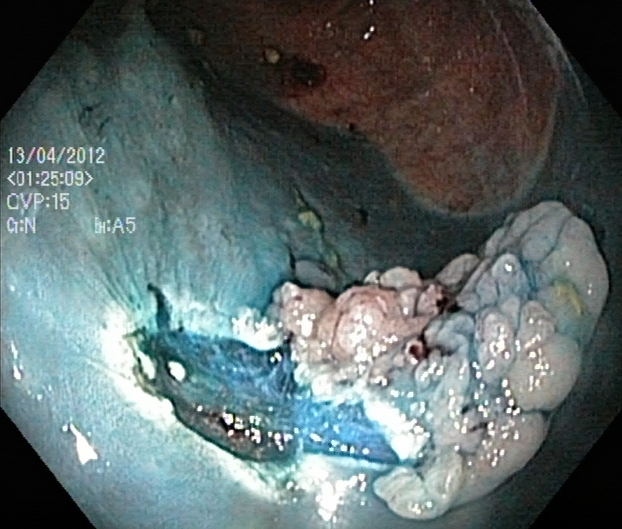Dyed resection margins (post-polypectomy).